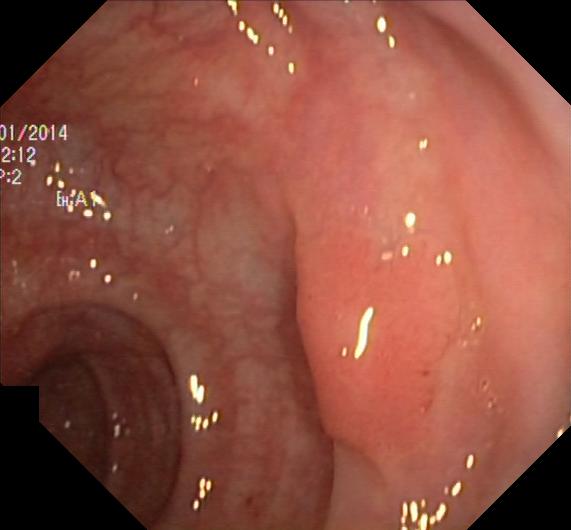This endoscopic image of the lower GI tract shows colorectal polyp(s).